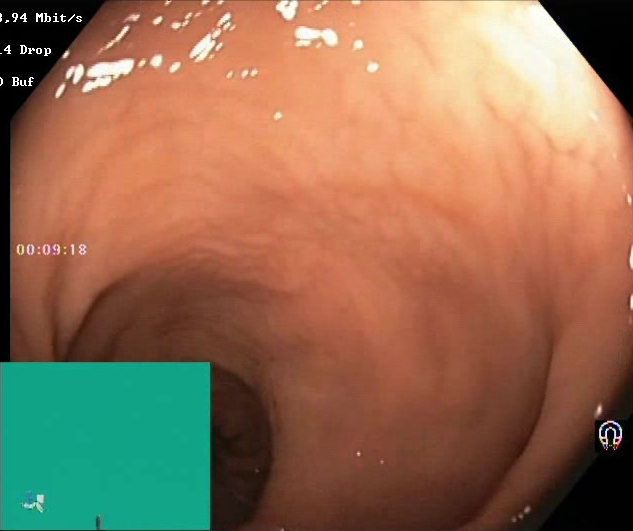Boston Bowel Preparation Scale score 2–3 (adequate preparation).